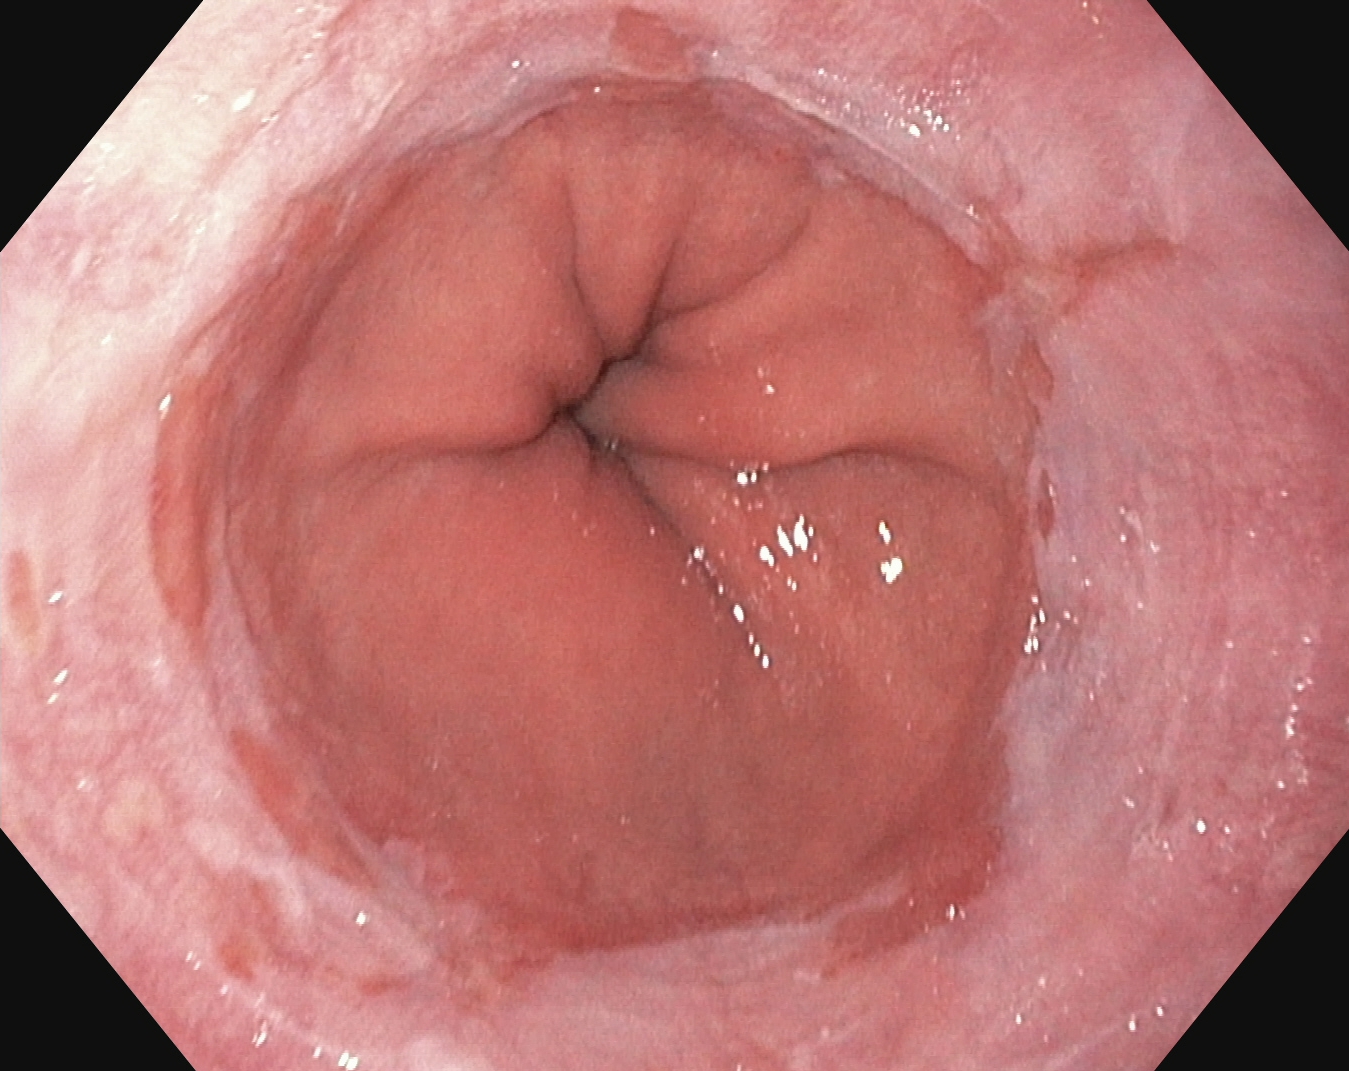GI endoscopy image of the upper GI tract showing reflux esophagitis, Los Angeles grade A.